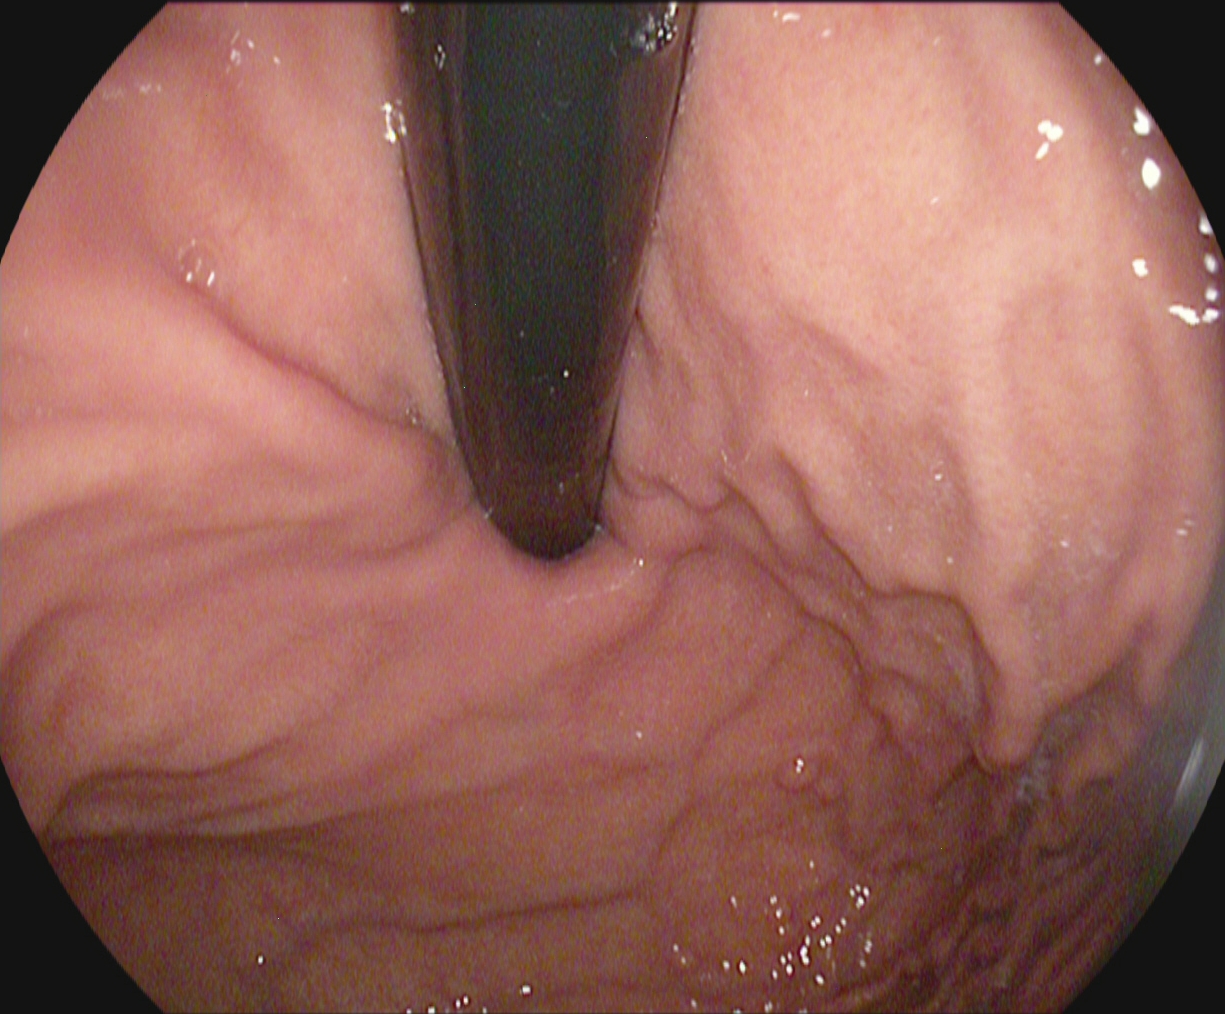EGD image of the upper GI tract showing stomach in retroflexion.